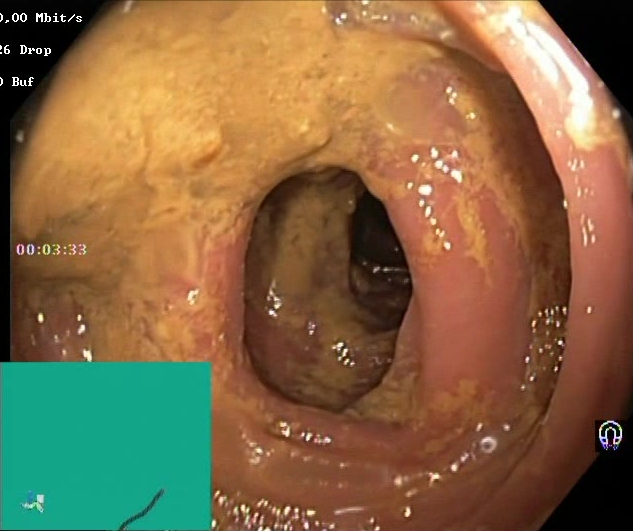Gastrointestinal endoscopy image showing BBPS score 0–1 (inadequate preparation).